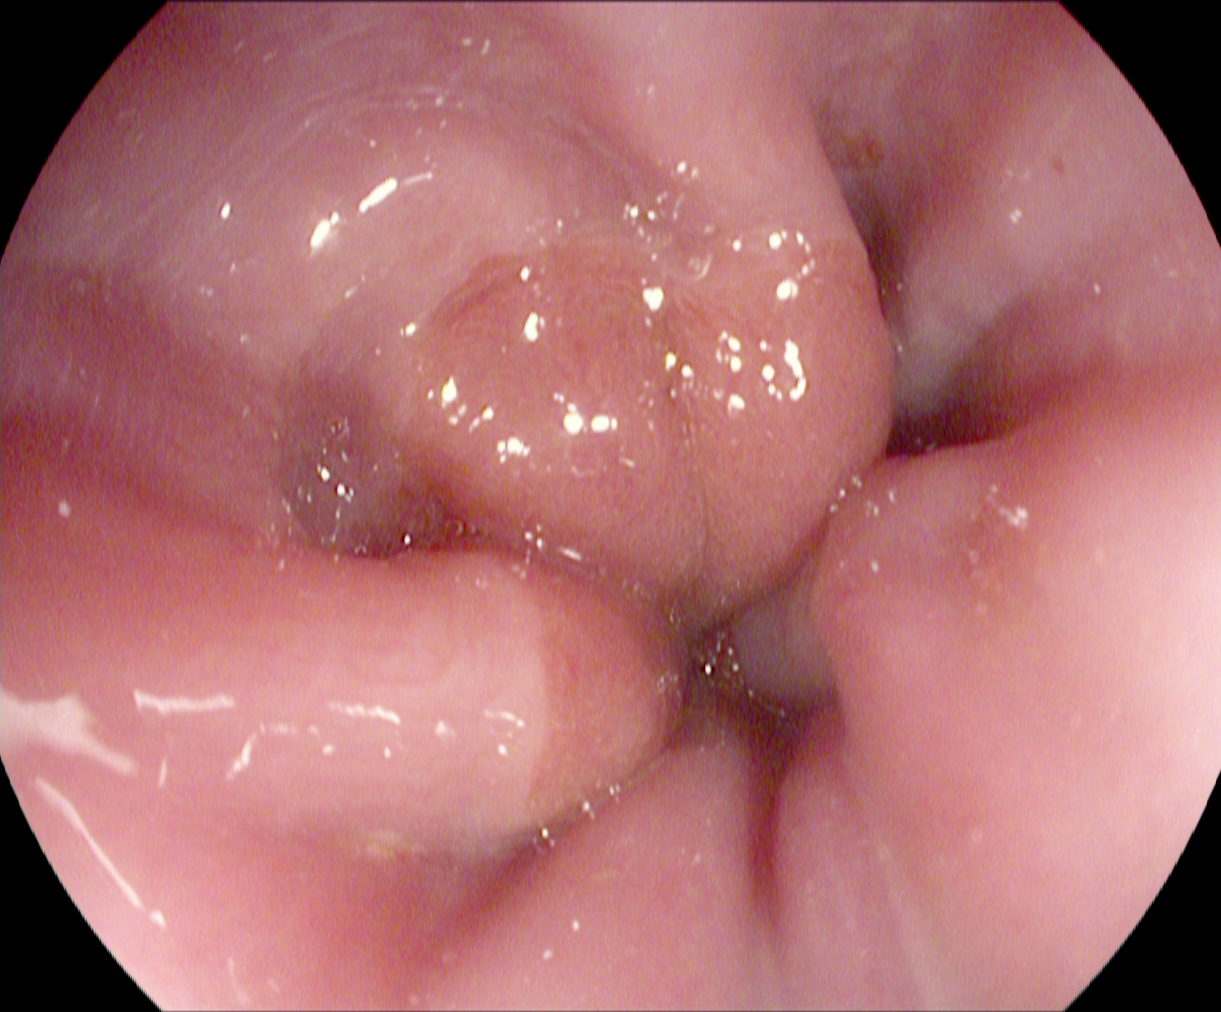Z-line (gastroesophageal junction).